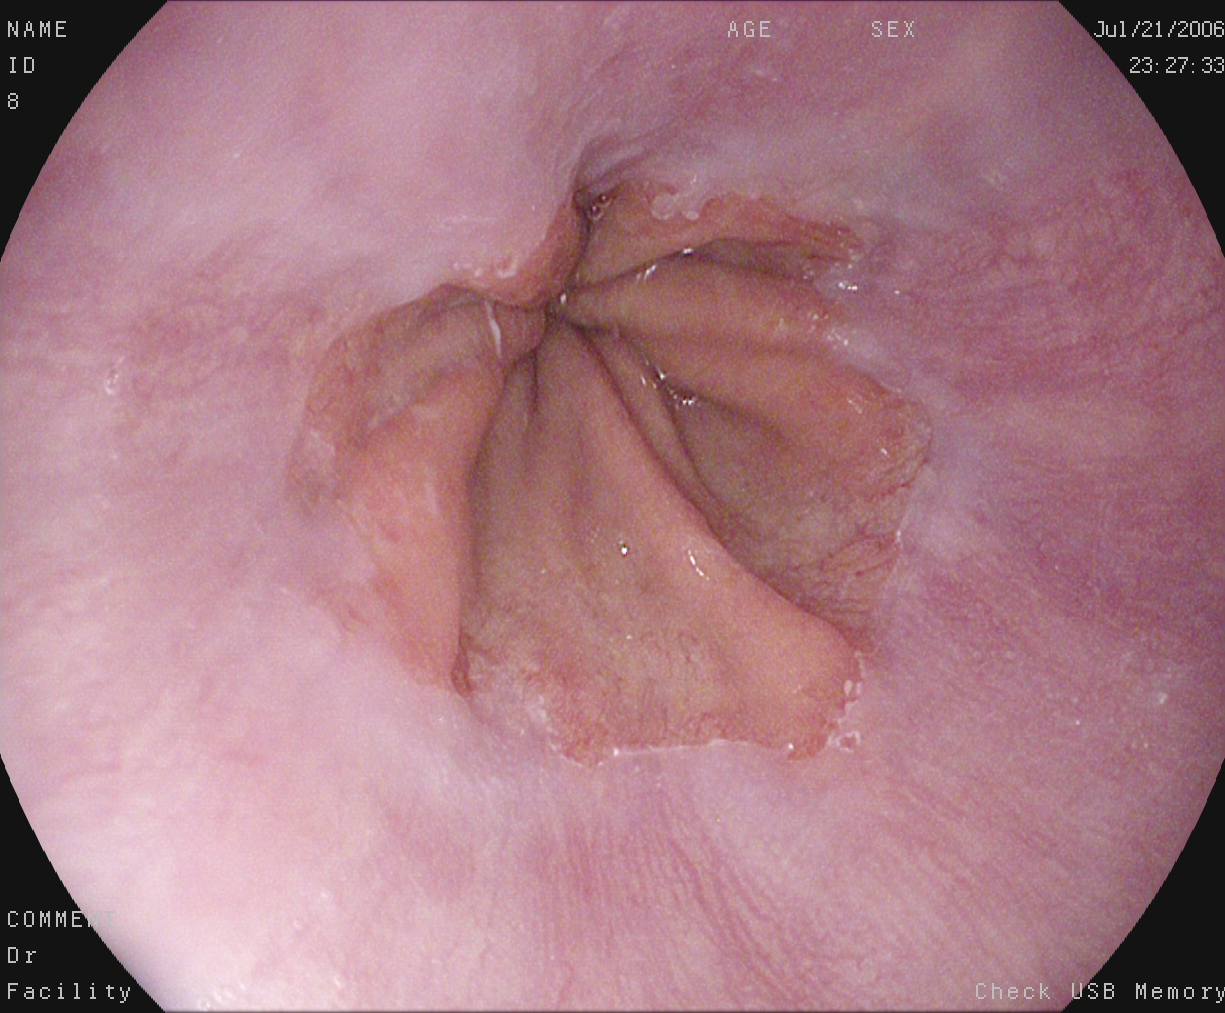This endoscopic image shows Z-line (gastroesophageal junction).